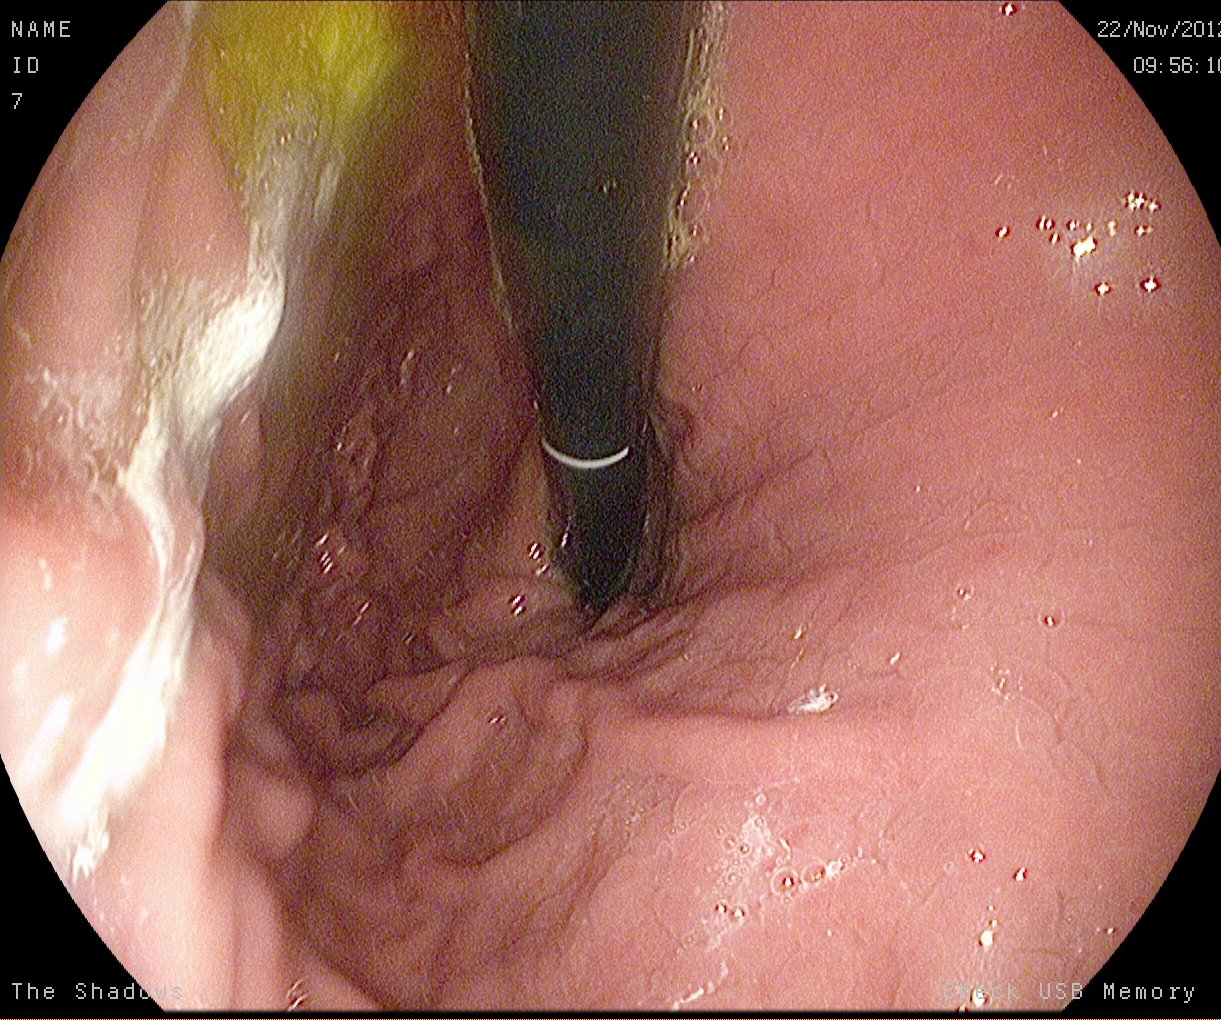Esophagogastroduodenoscopy image showing stomach in retroflexion.